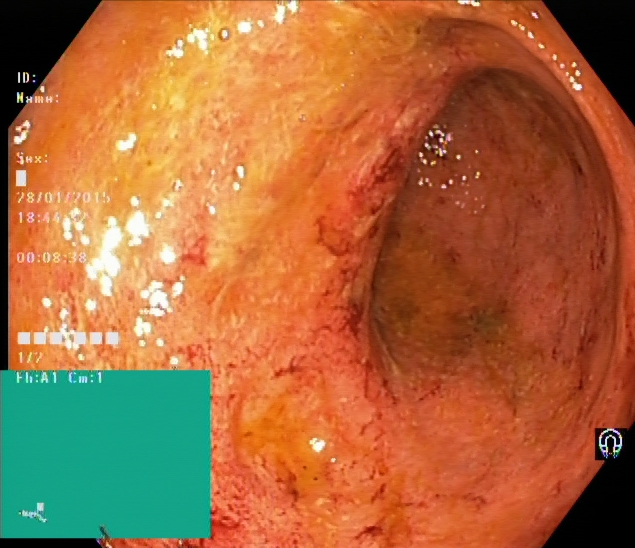UC, Mayo endoscopic subscore 2.